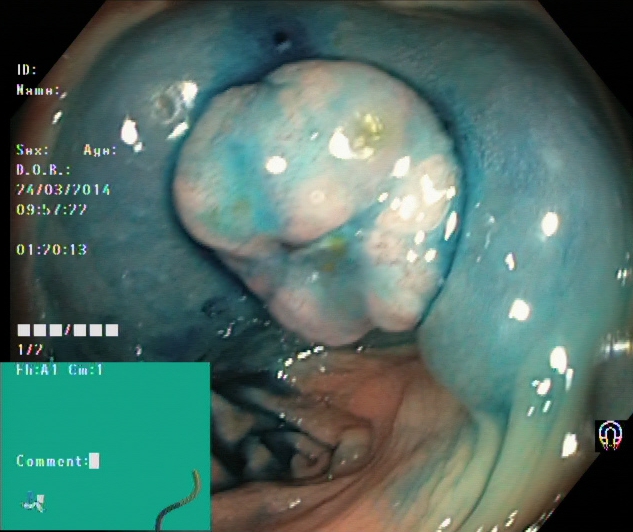Dyed and lifted polyp (pre-resection).